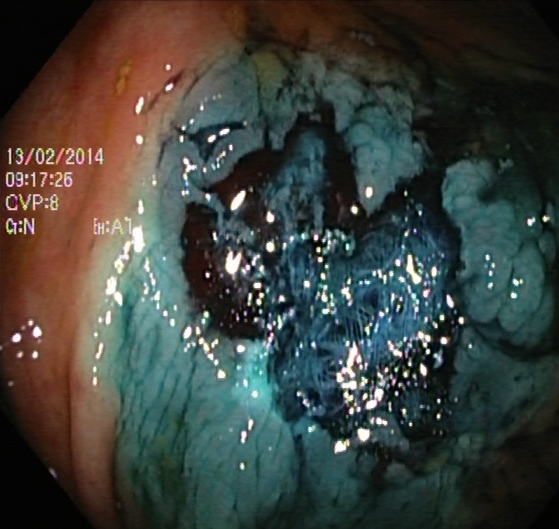{"modality": "lower gastrointestinal endoscopy", "tract": "lower GI tract", "finding": "dyed resection margins (post-polypectomy)"}